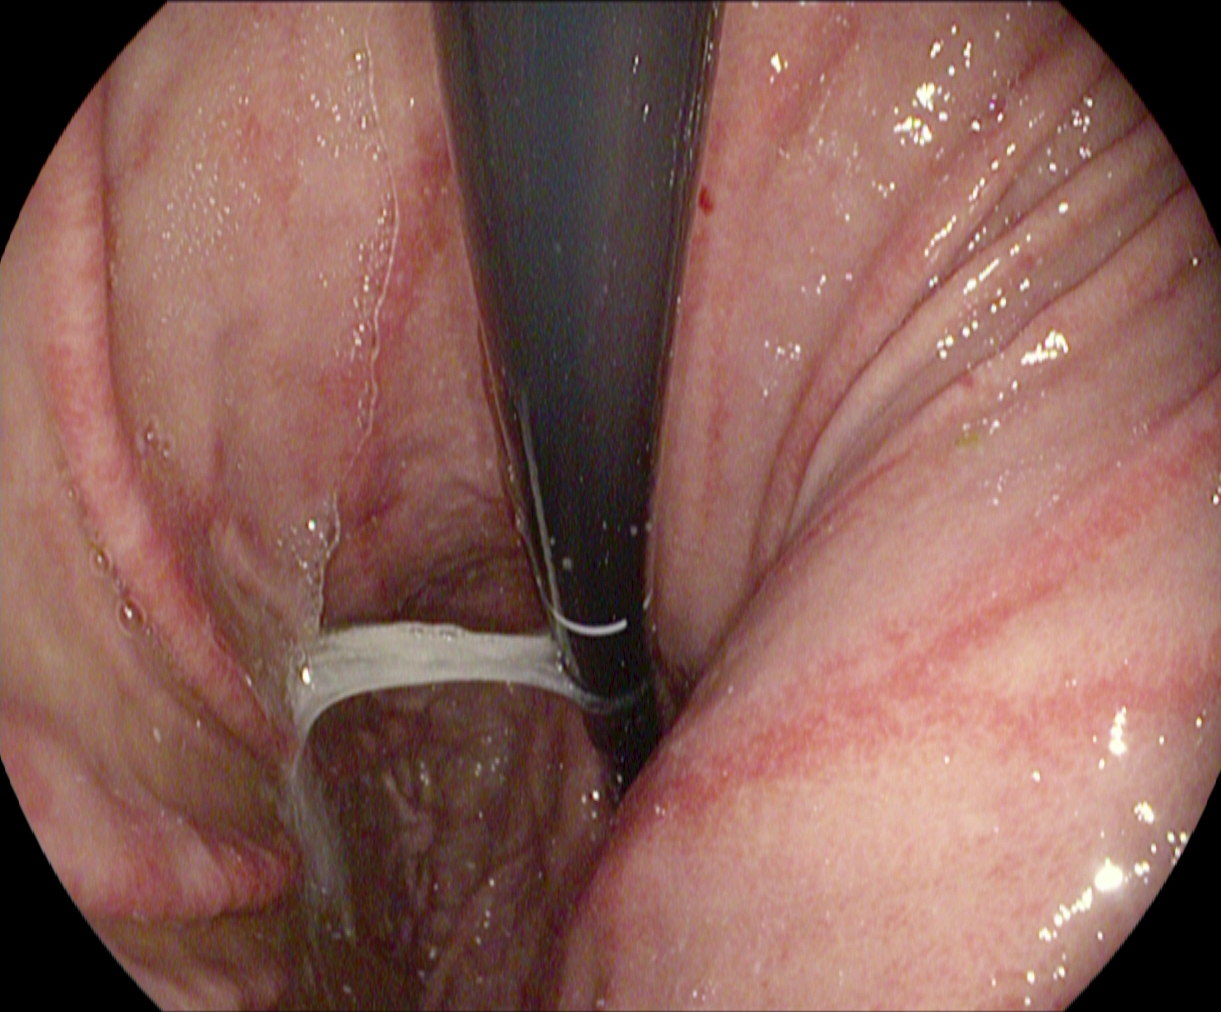Endoscopic image of the upper GI tract showing stomach in retroflexion.